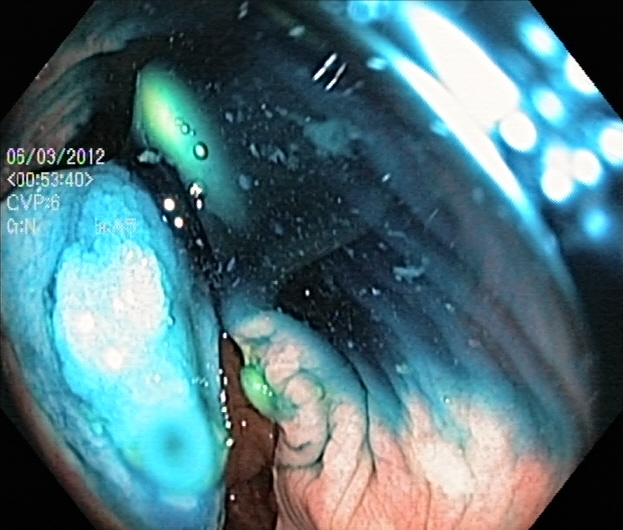Lower-GI endoscopy. Tract: lower GI tract. Therapeutic intervention. Finding: dyed and lifted polyp (pre-resection).